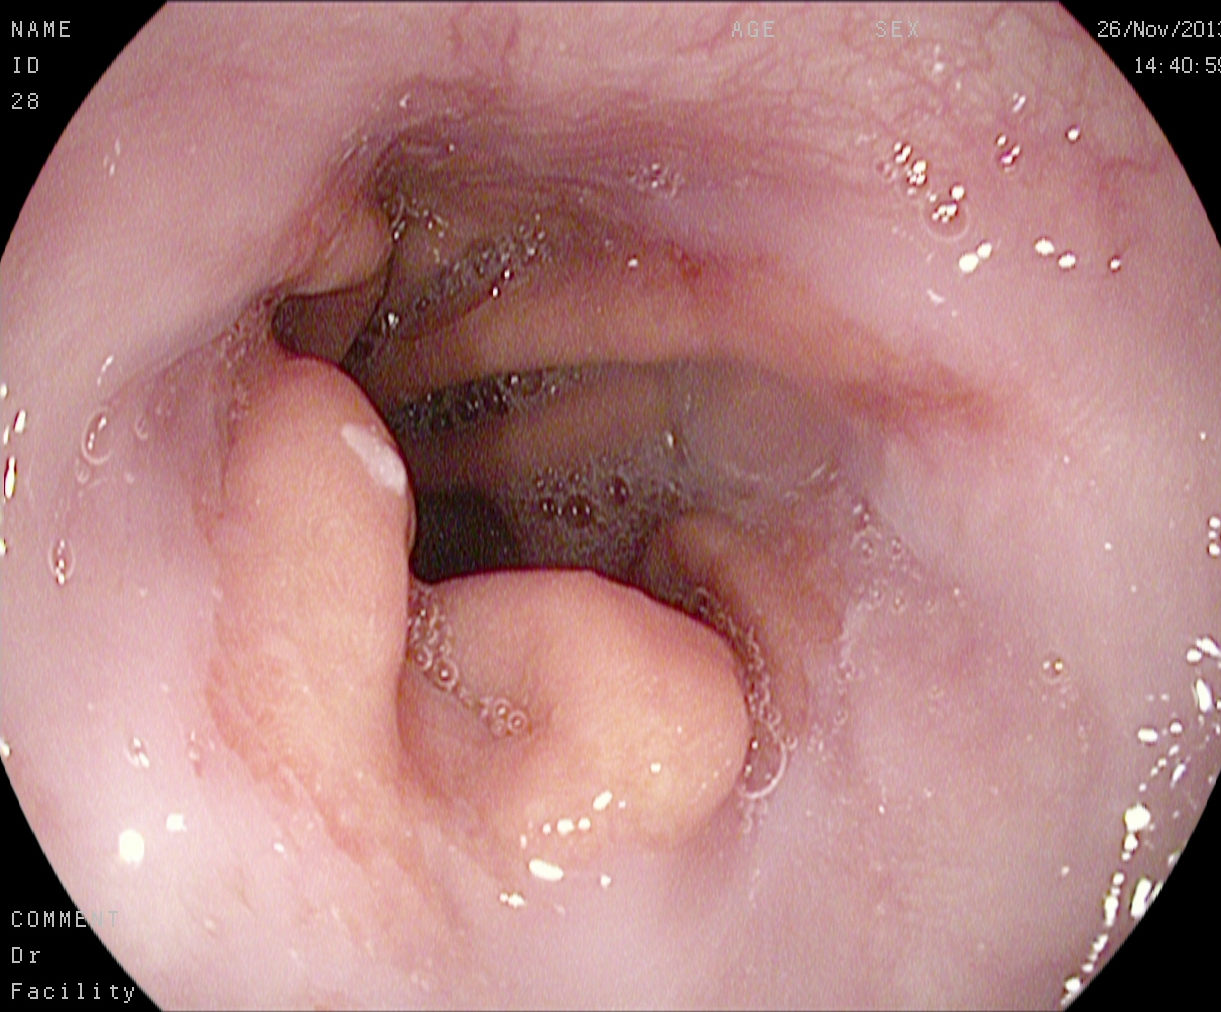Endoscopy image showing reflux esophagitis, Los Angeles grade A.